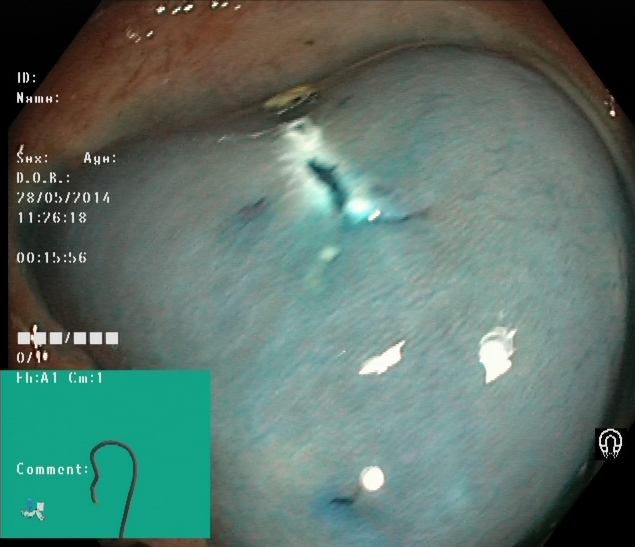Colonoscopy — dyed resection margins (post-polypectomy).